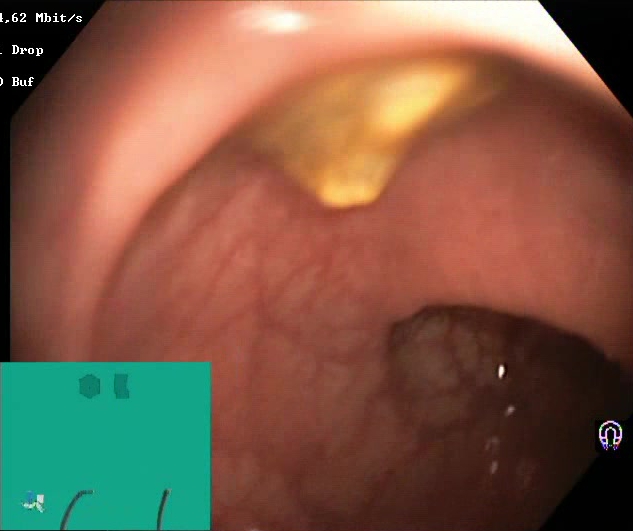{"modality": "lower-GI endoscopy", "finding": "Boston Bowel Preparation Scale score 2\u20133 (adequate preparation)"}